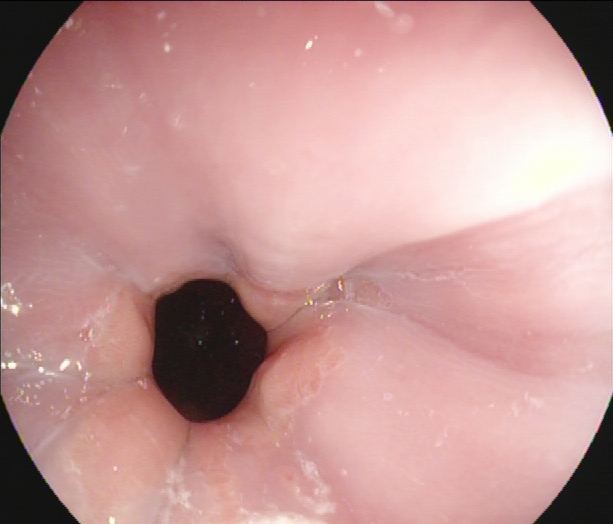This endoscopic image of the upper GI tract shows Z-line (gastroesophageal junction).